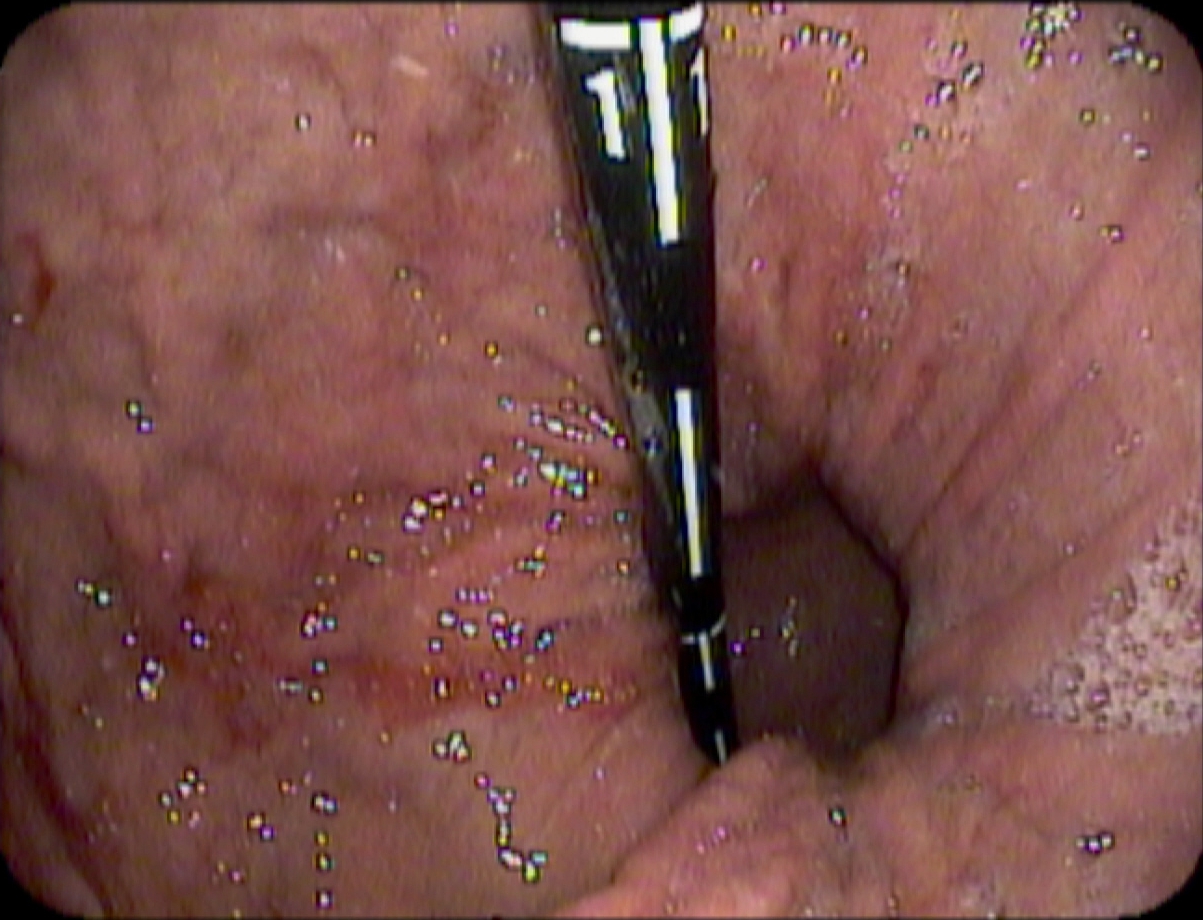This endoscopic image shows stomach in retroflexion.